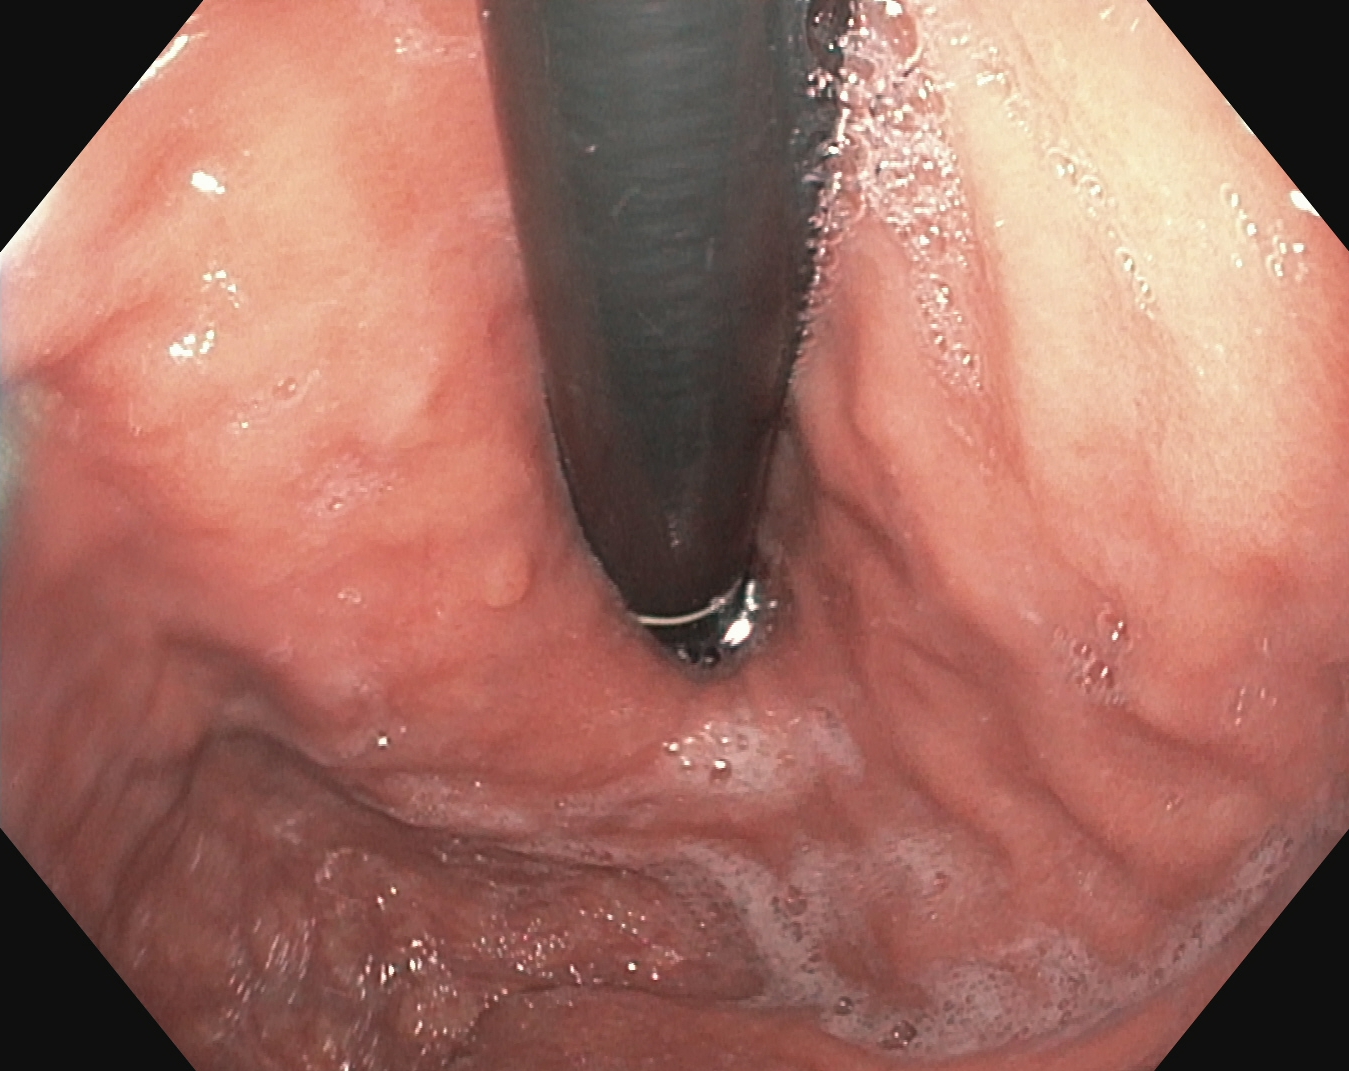This endoscopy frame shows stomach in retroflexion.